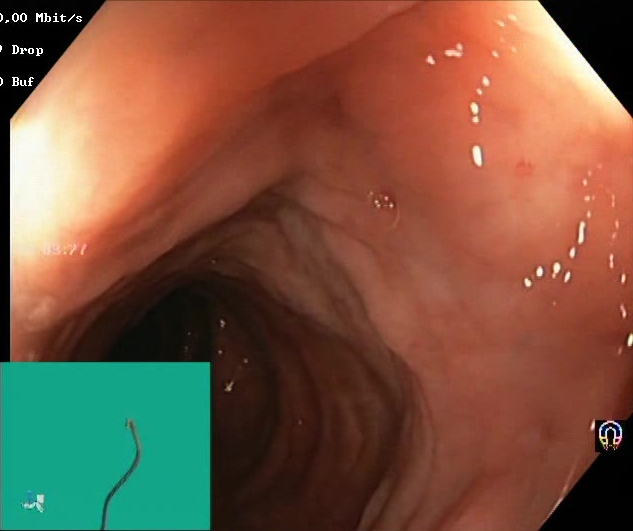Boston Bowel Preparation Scale score 2–3 (adequate preparation).